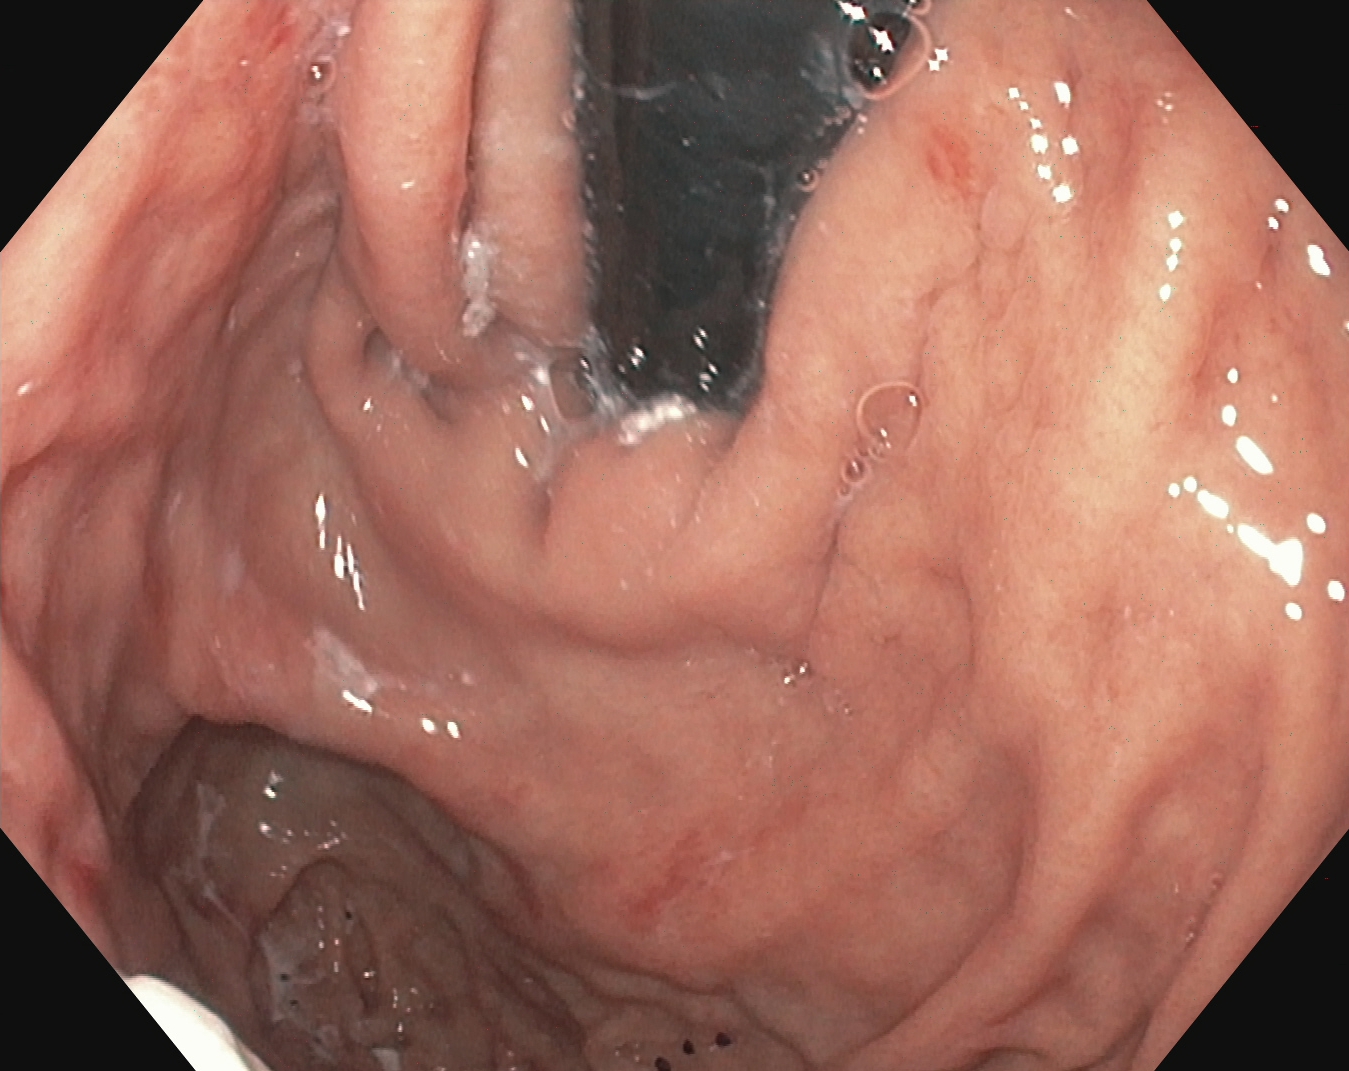PROCEDURE: Gastroscopy.
FINDINGS: Stomach in retroflexion.